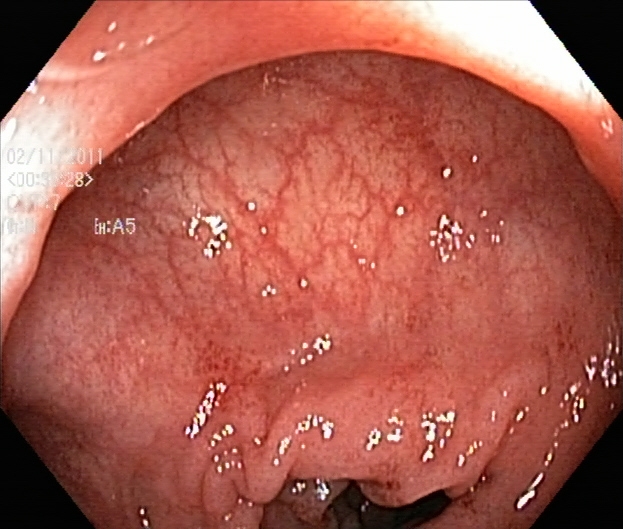This endoscopic image of the lower GI tract shows ulcerative colitis, Mayo endoscopic subscore 0–1.